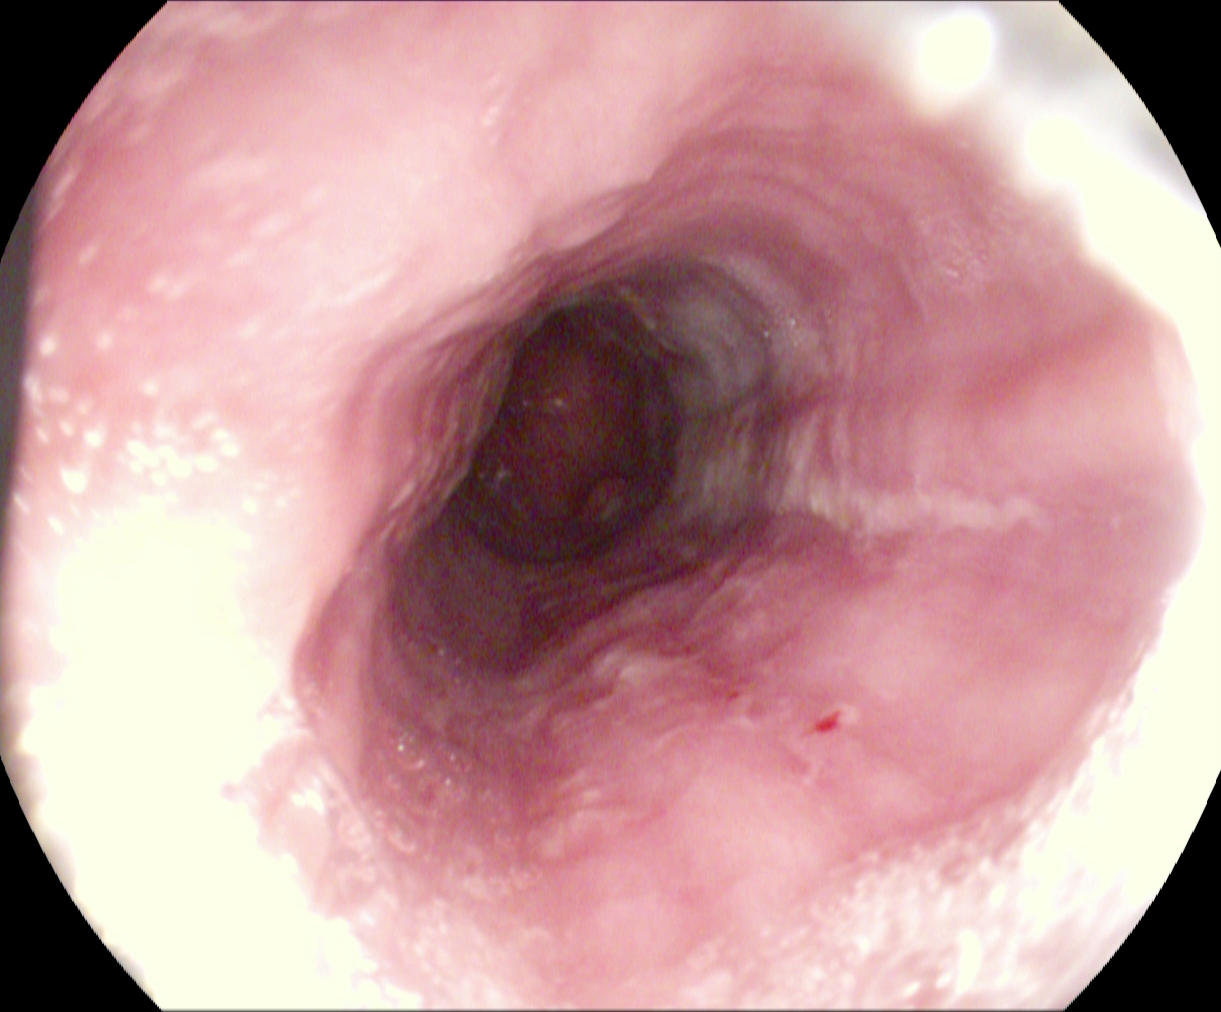Reflux esophagitis, Los Angeles grade B–D.